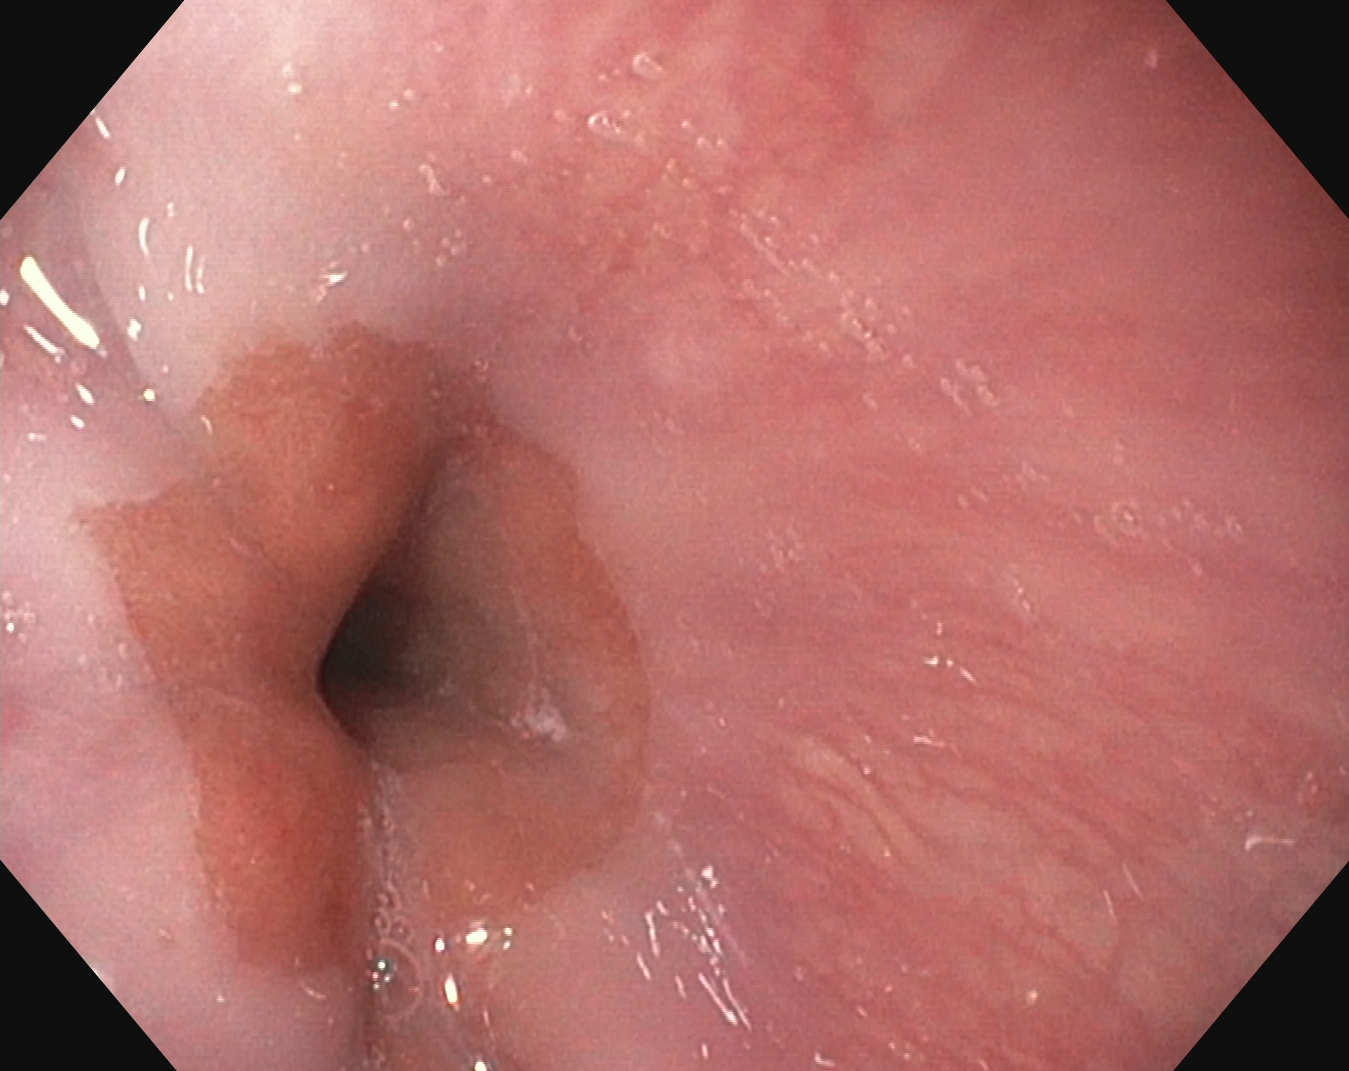EGD — Z-line (gastroesophageal junction).